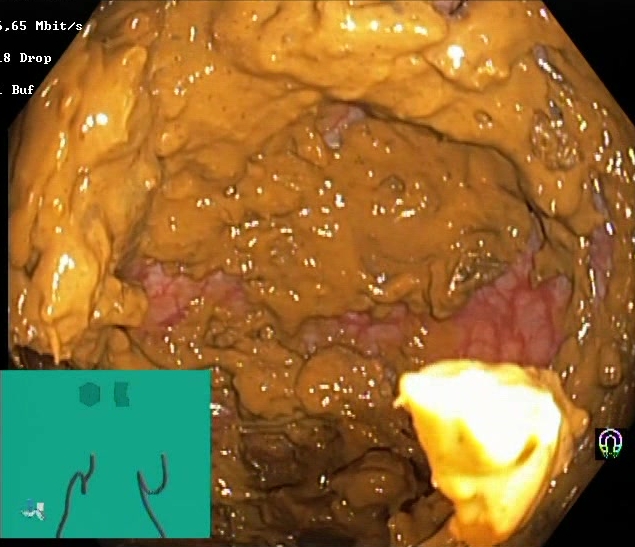modality: colonoscopy | tract: lower GI tract | finding: Boston Bowel Preparation Scale score 0–1 (inadequate preparation)